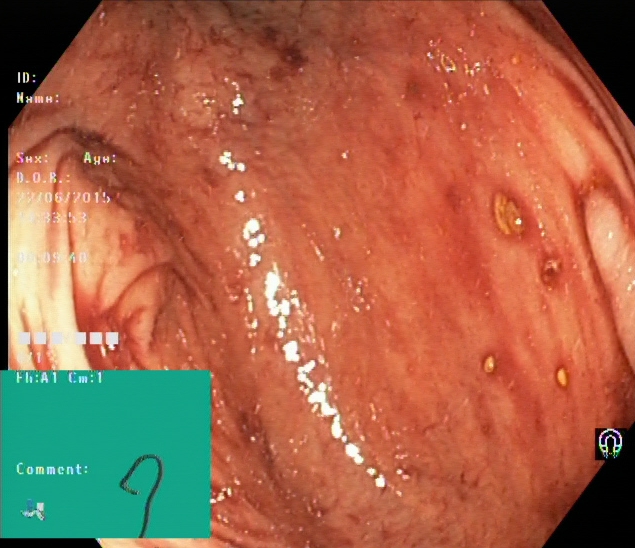Endoscopy image showing cecum.